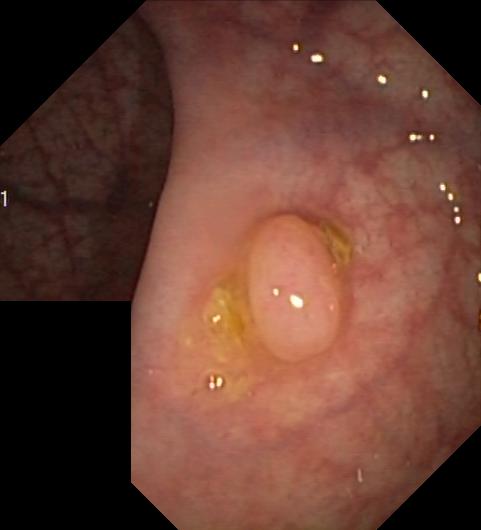Lower gastrointestinal endoscopy. Tract: lower GI tract. Finding: colorectal polyp(s).